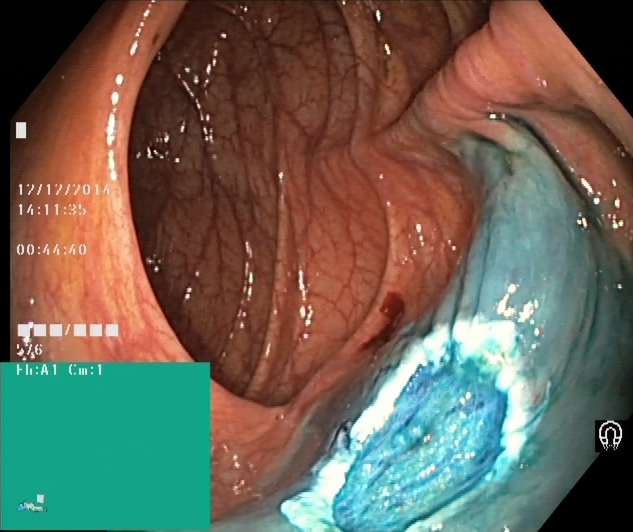Dyed resection margins (post-polypectomy).